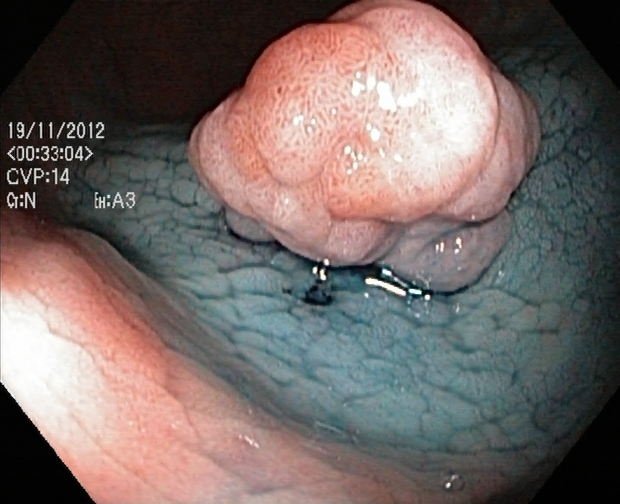Endoscopic image of the lower GI tract showing dyed and lifted polyp (pre-resection).